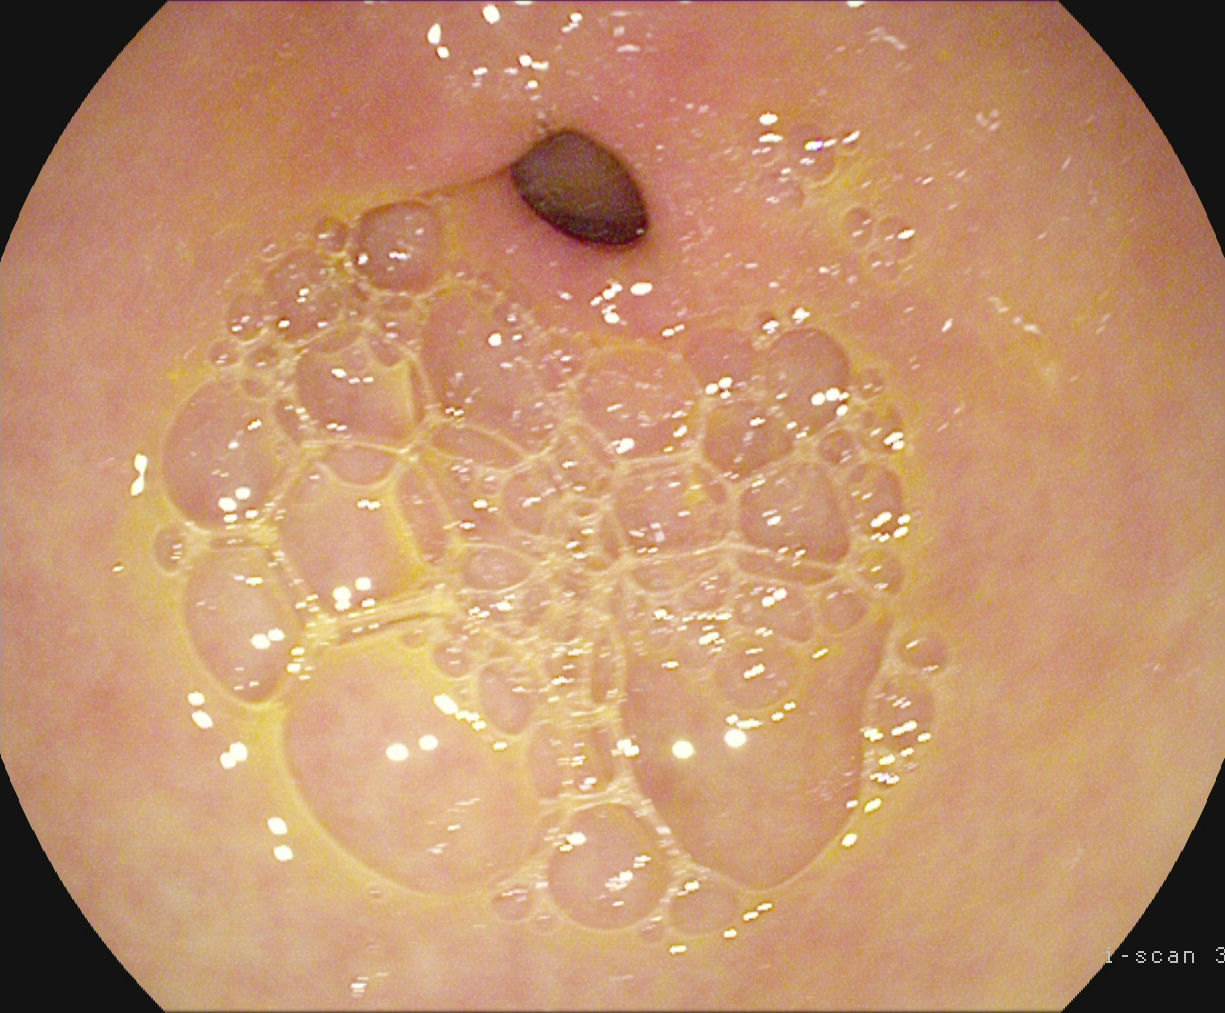GI endoscopy image showing pylorus.